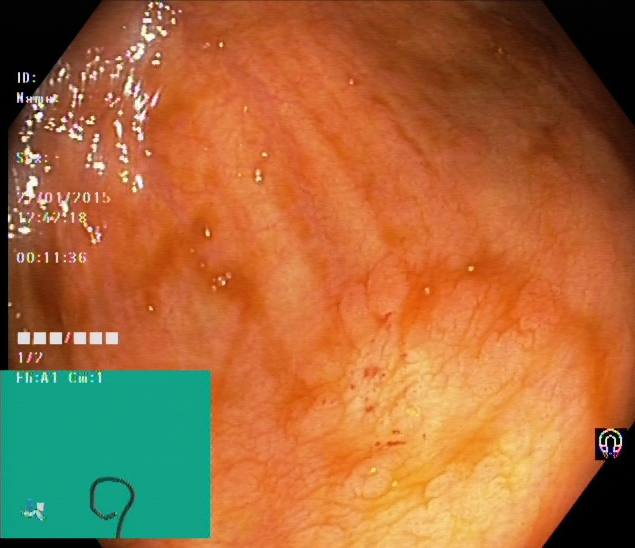Colonoscopy. Tract: lower GI tract. Finding: cecum.